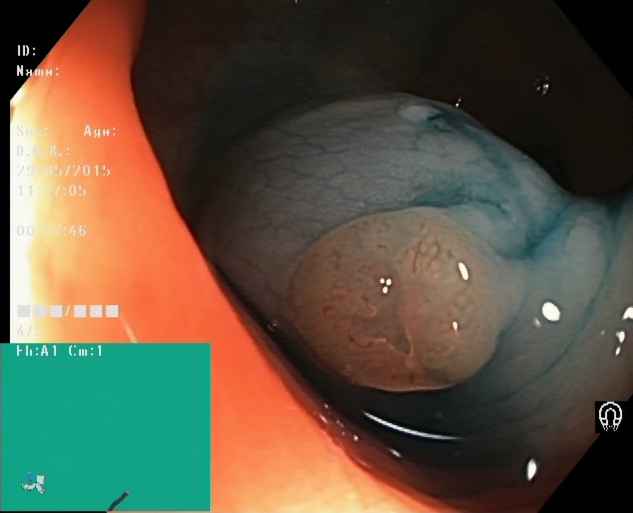Lower gastrointestinal endoscopy. Therapeutic intervention. Finding: dyed and lifted polyp (pre-resection).